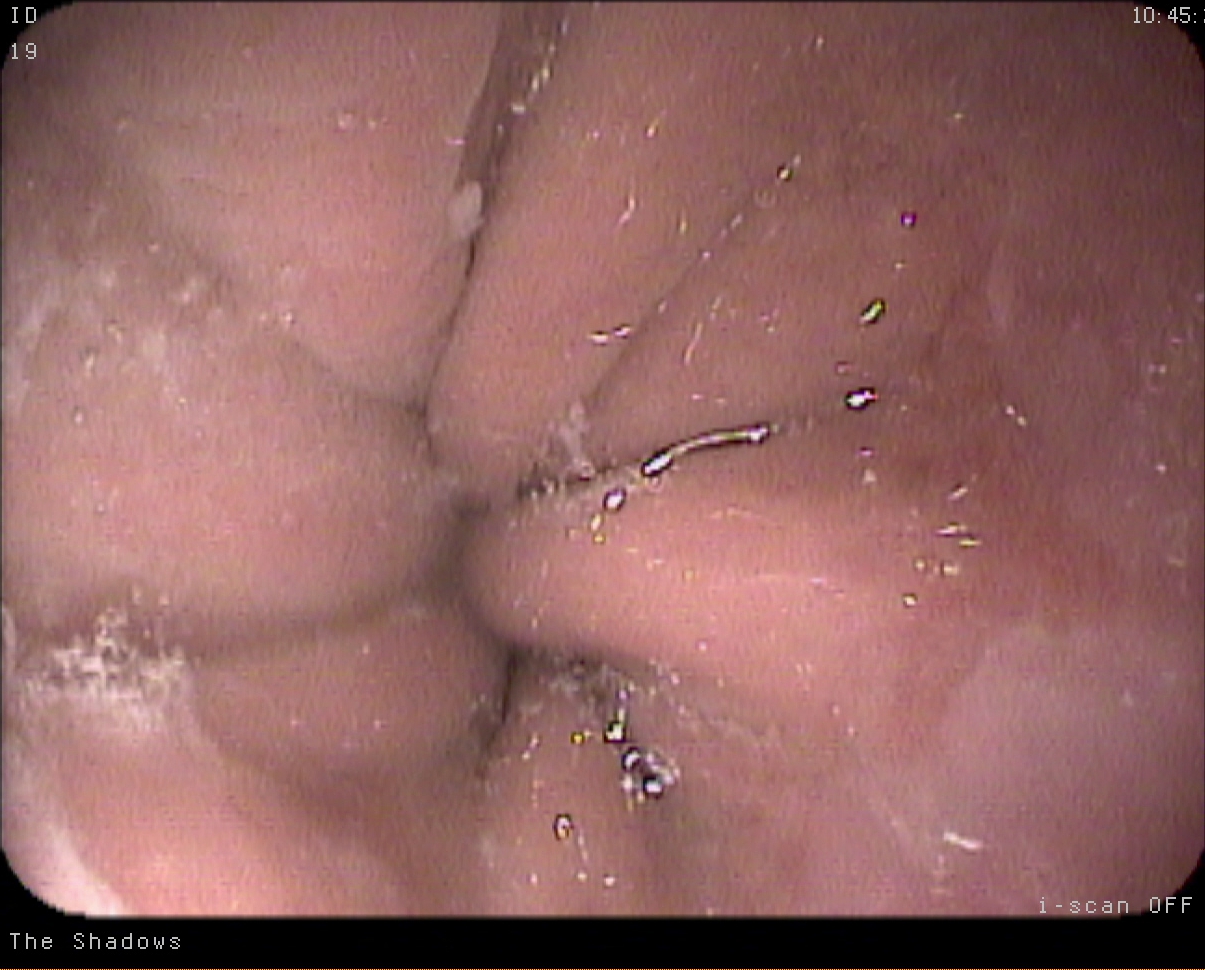Upper-GI endoscopy — Z-line (gastroesophageal junction).